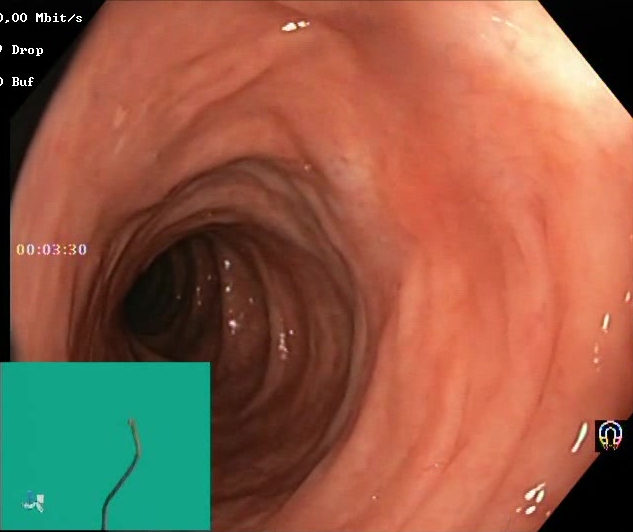modality: lower-GI endoscopy | tract: lower GI tract | finding: Boston Bowel Preparation Scale score 2–3 (adequate preparation)